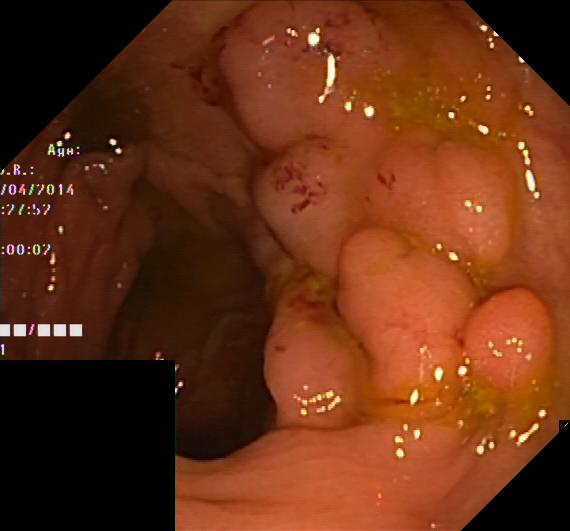{"modality": "lower gastrointestinal endoscopy", "tract": "lower GI tract", "finding": "colorectal polyp(s)"}